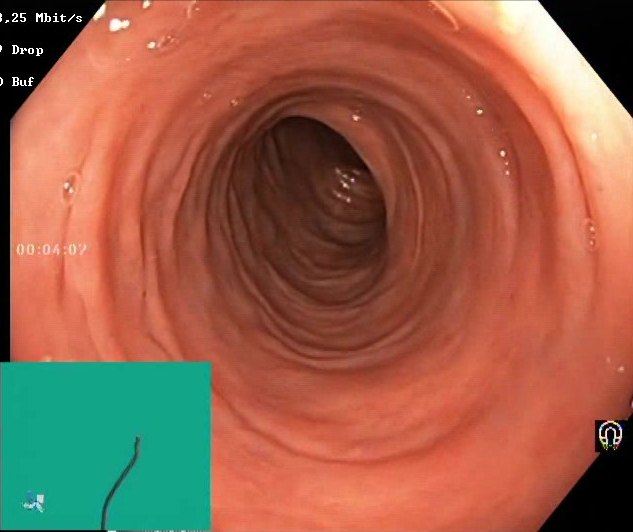Lower-GI endoscopy — Boston Bowel Preparation Scale score 2–3 (adequate preparation).